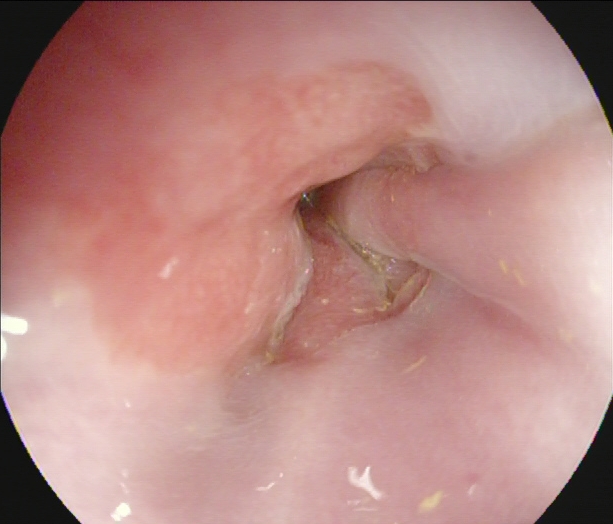Esophagogastroduodenoscopy image showing Z-line (gastroesophageal junction).